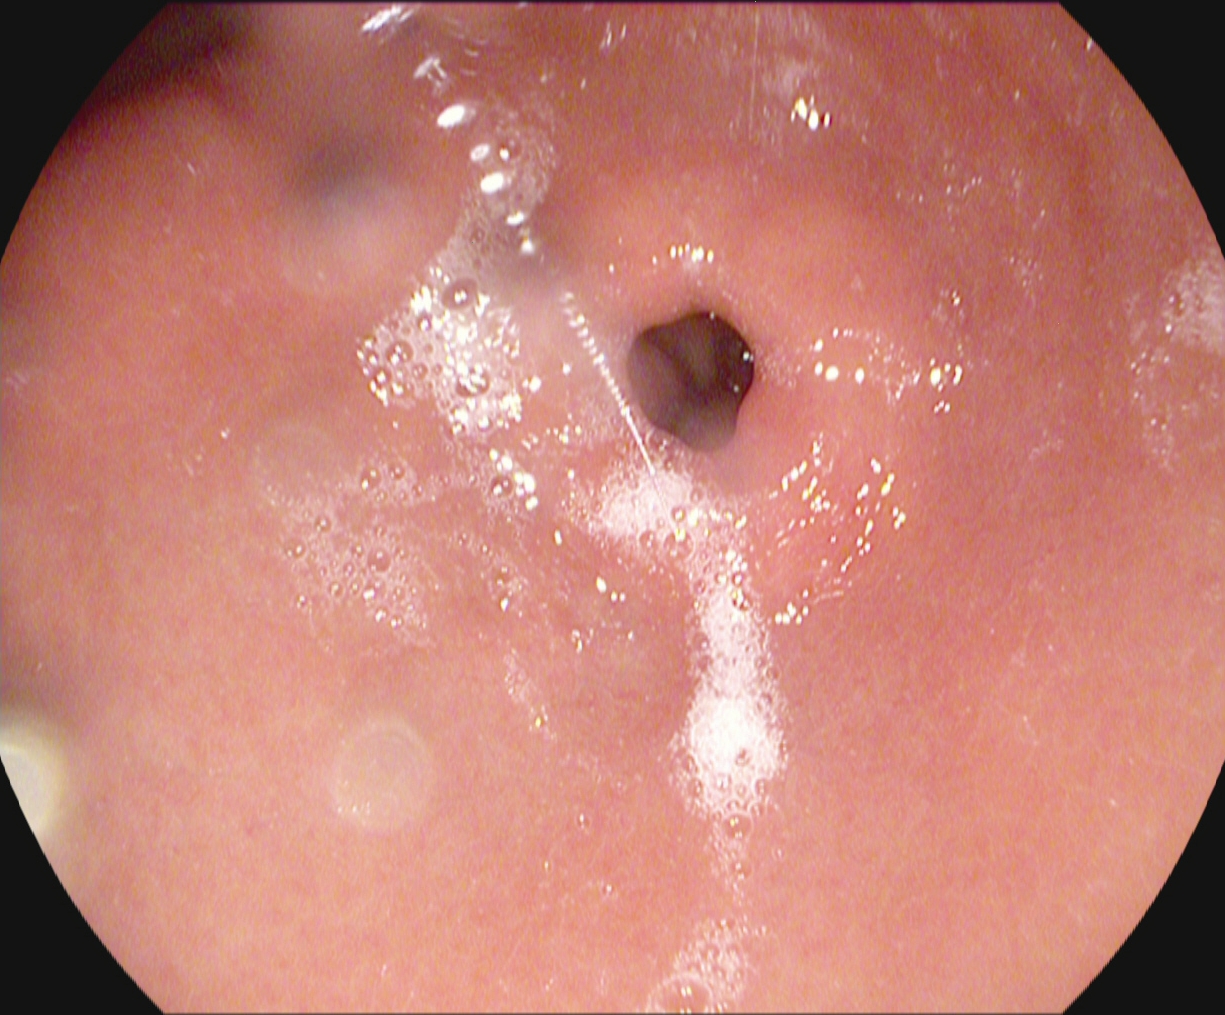Gastrointestinal endoscopy image of the upper GI tract showing pylorus.